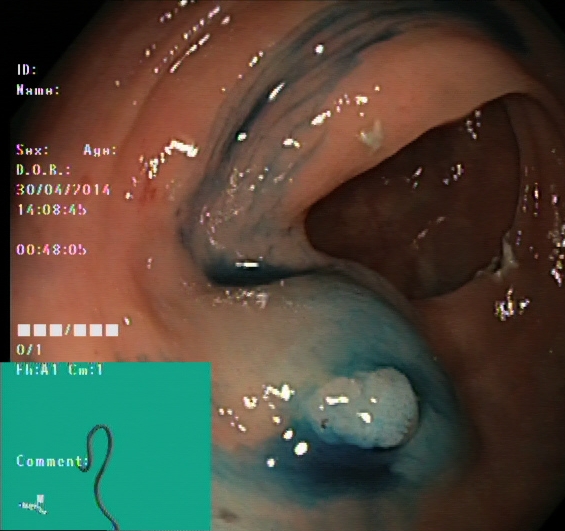Lower gastrointestinal endoscopy — dyed and lifted polyp (pre-resection).